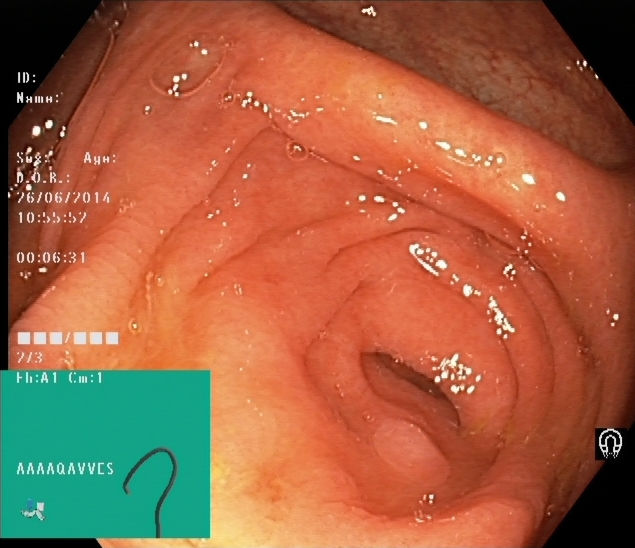This endoscopic image of the lower GI tract shows cecum.